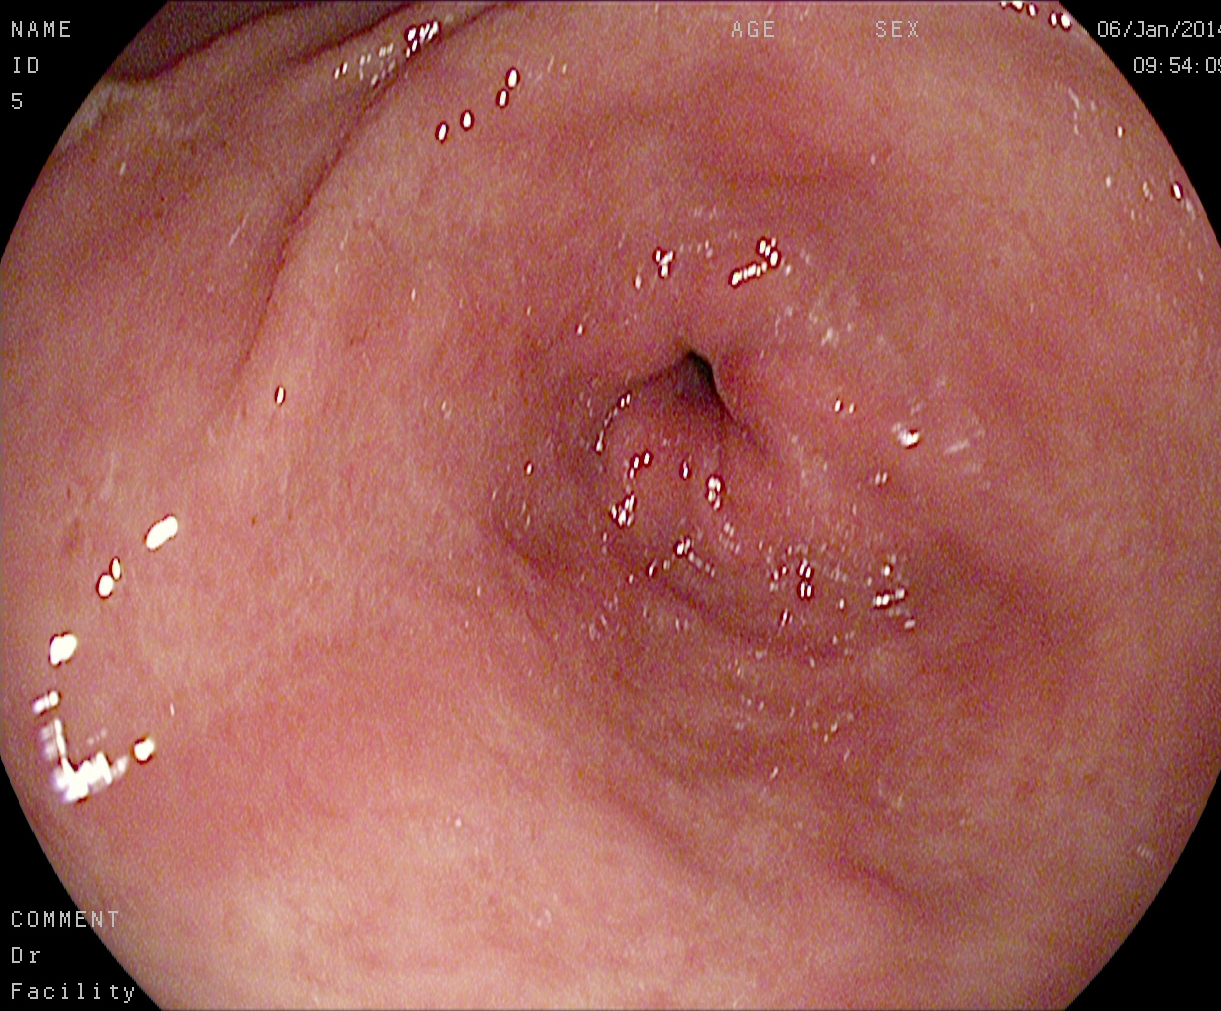modality: upper-GI endoscopy
category: anatomical landmark
finding: pylorus